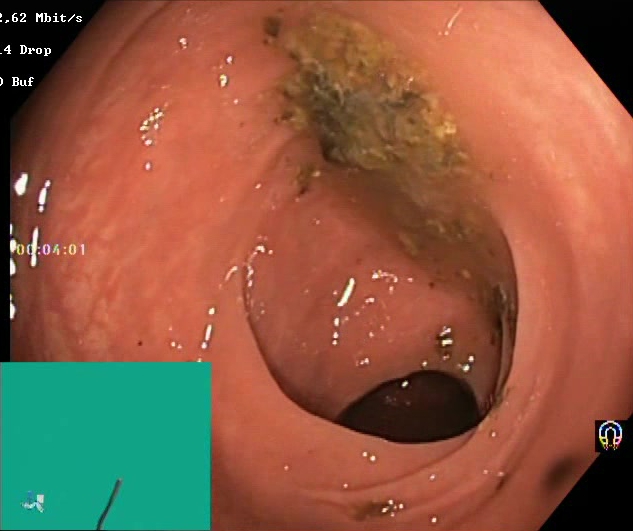PROCEDURE: Lower-GI endoscopy.
FINDINGS: Boston Bowel Preparation Scale score 0–1 (inadequate preparation).